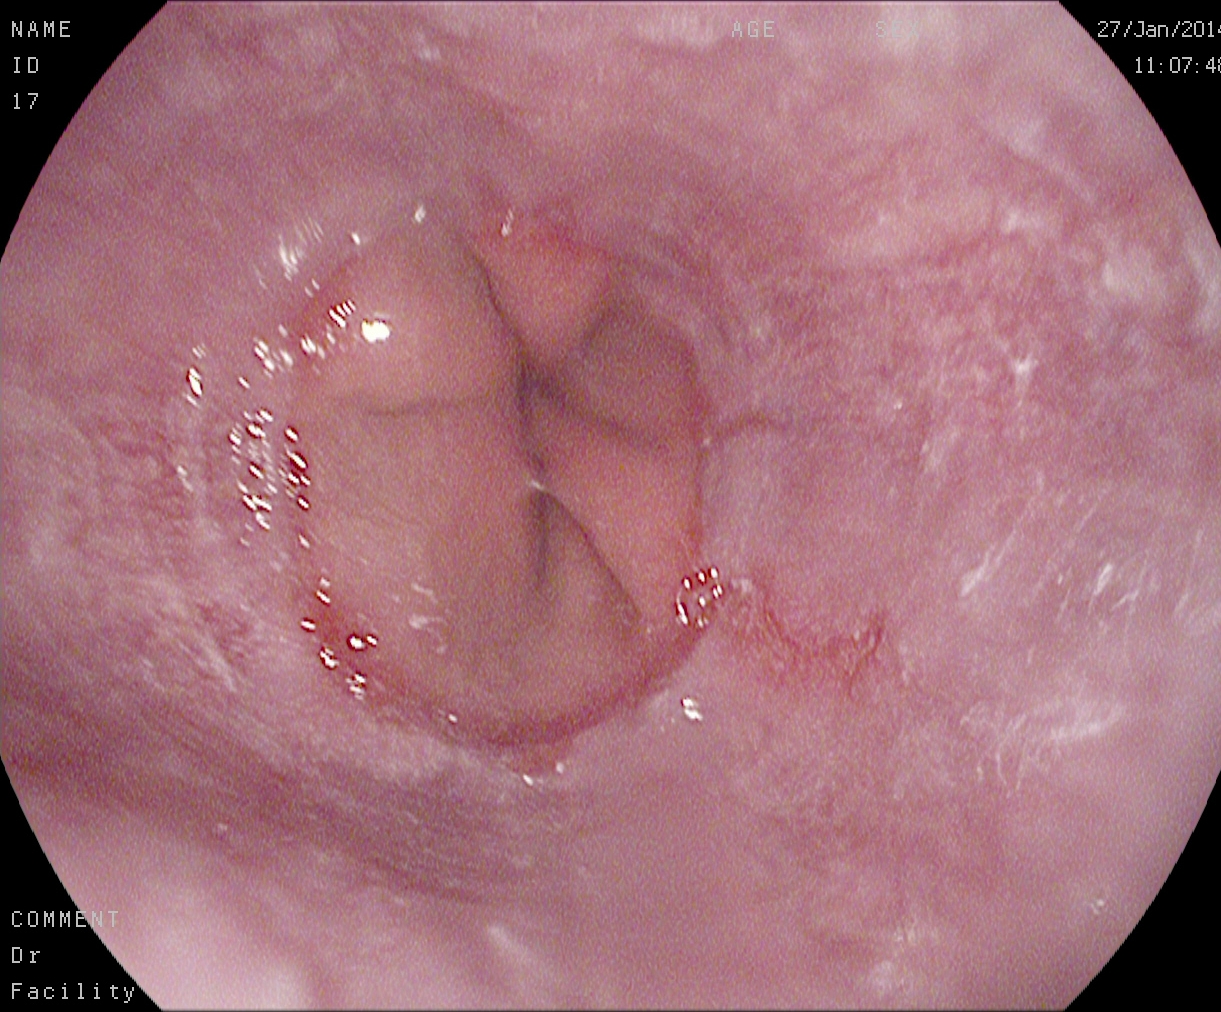This endoscopic image of the upper GI tract shows reflux esophagitis, Los Angeles grade A.